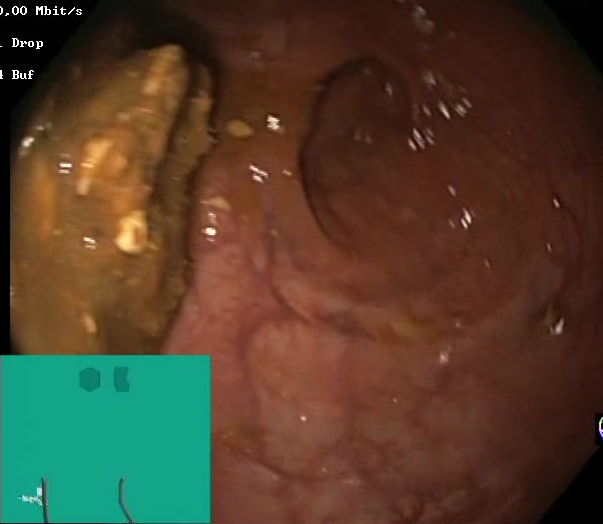PROCEDURE: Lower gastrointestinal endoscopy.
FINDINGS: Boston Bowel Preparation Scale score 0–1 (inadequate preparation).